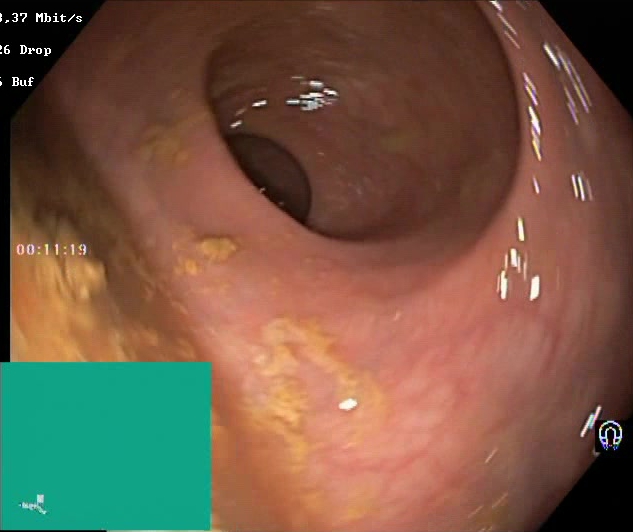Lower-GI endoscopy. Tract: lower GI tract. Finding: Boston Bowel Preparation Scale score 0–1 (inadequate preparation).